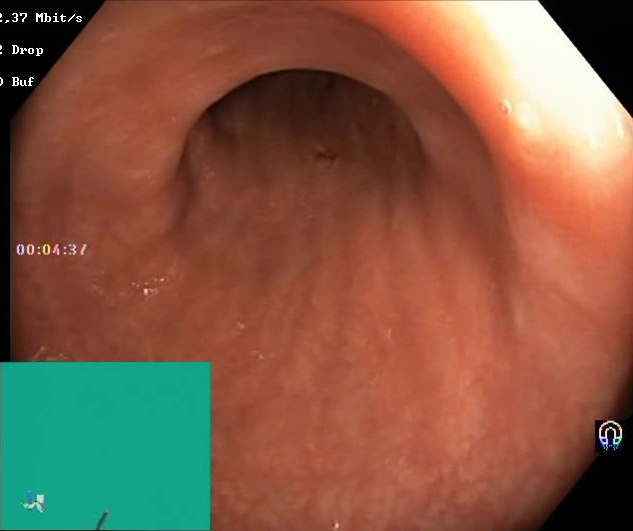Boston Bowel Preparation Scale score 2–3 (adequate preparation).